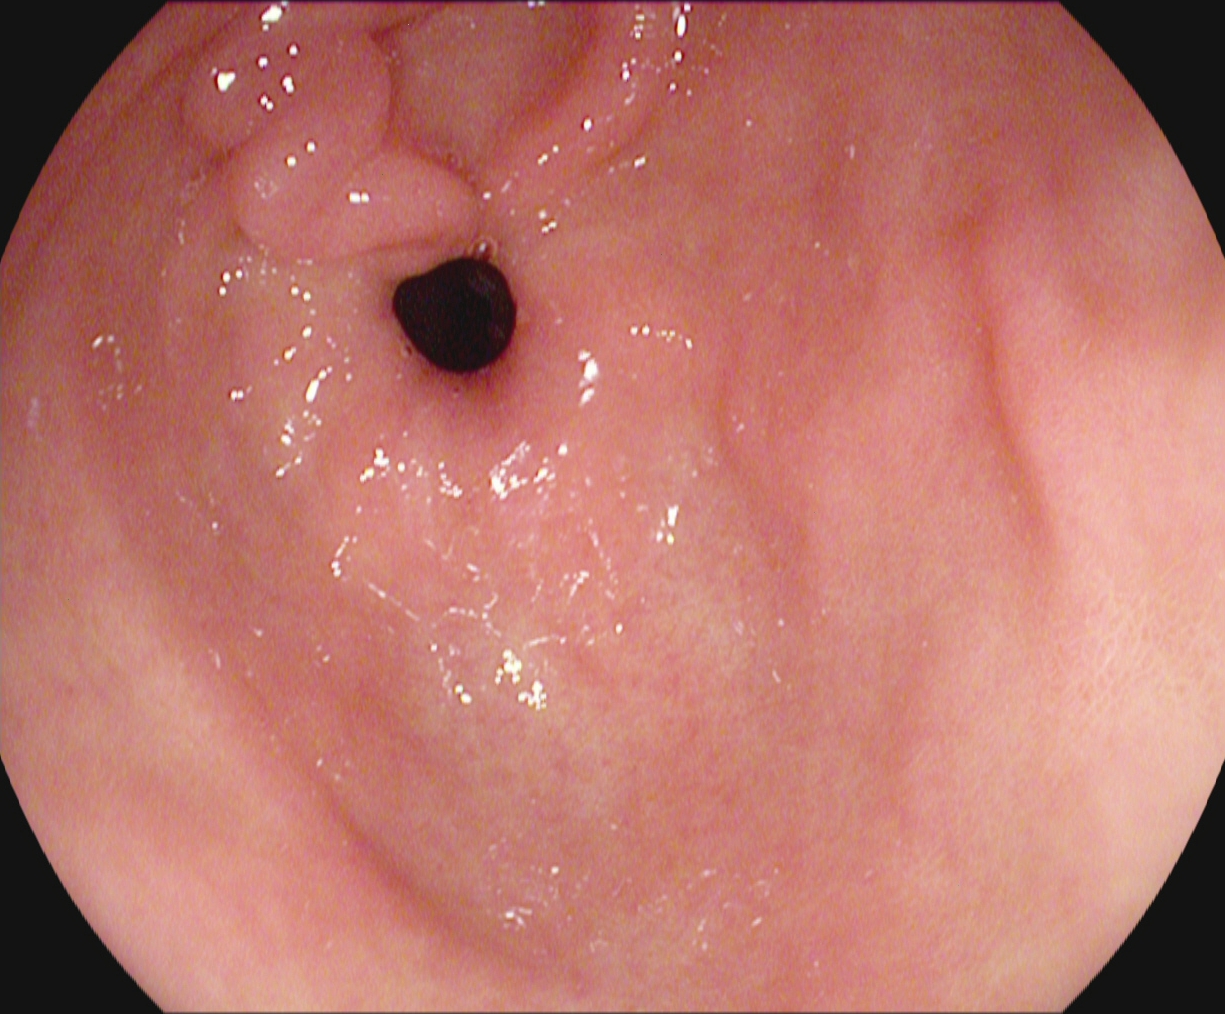modality: upper-GI endoscopy; tract: upper GI tract; finding: pylorus